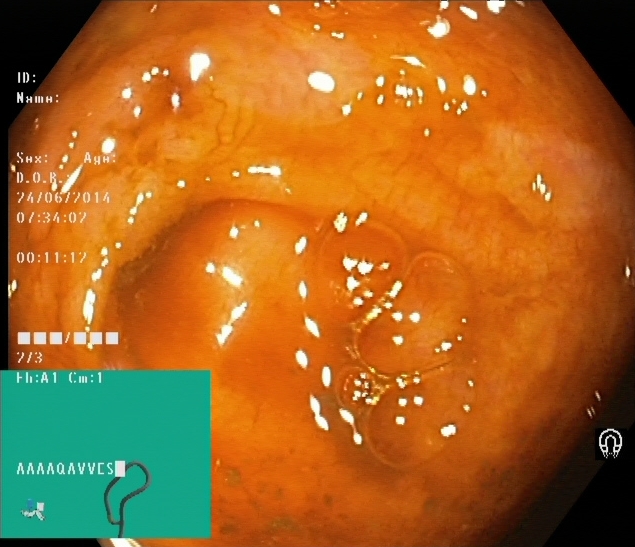Colonoscopy image showing cecum.